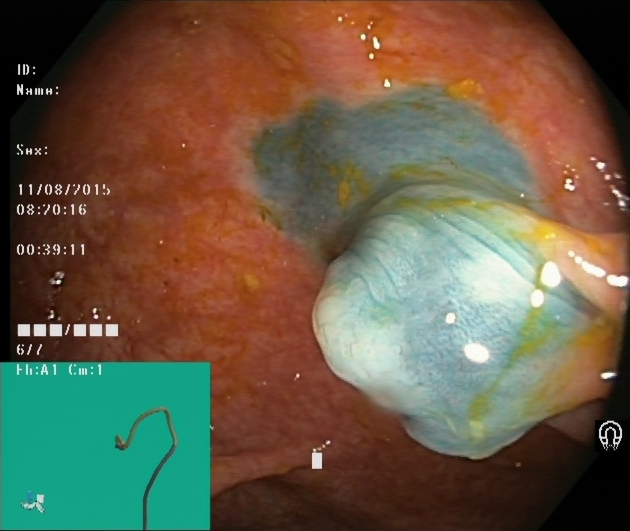This endoscopy frame shows dyed and lifted polyp (pre-resection).